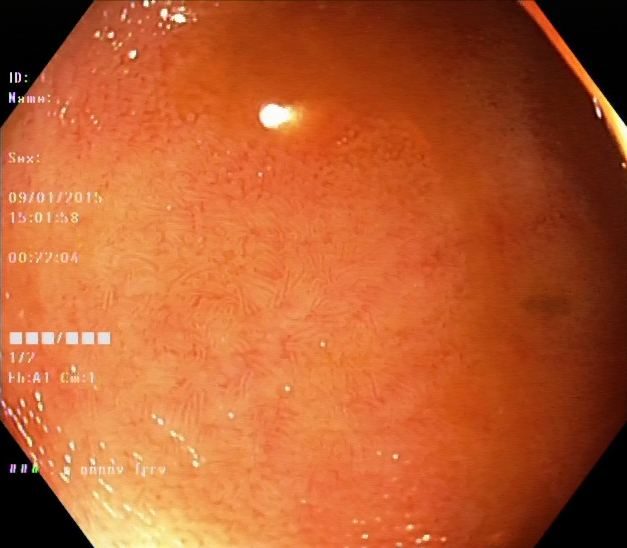modality: colonoscopy
category: pathological finding
finding: ulcerative colitis, Mayo endoscopic subscore 1